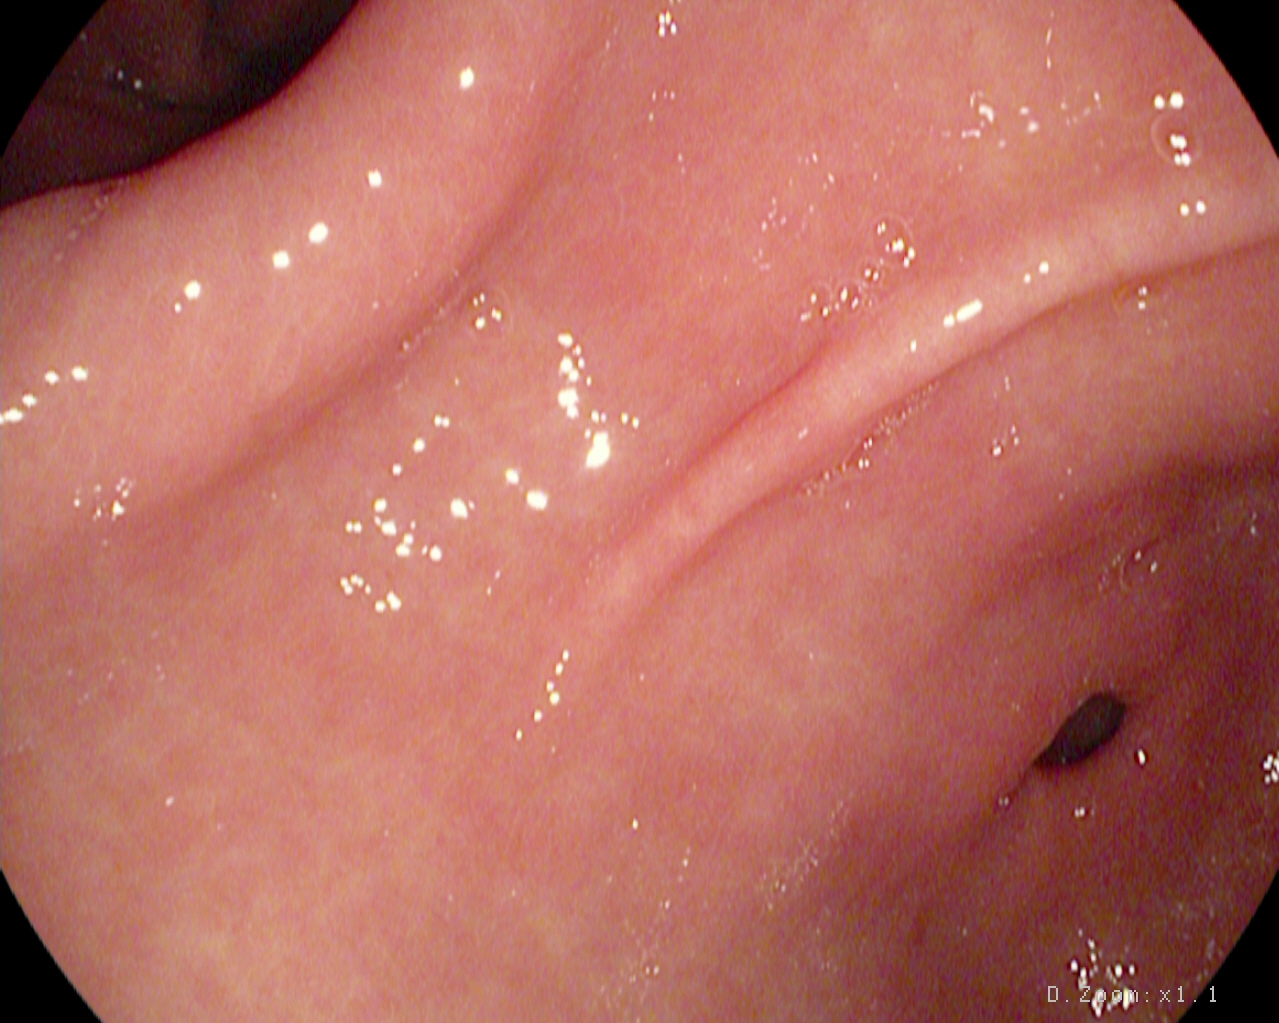modality: EGD
tract: upper GI tract
finding: pylorus